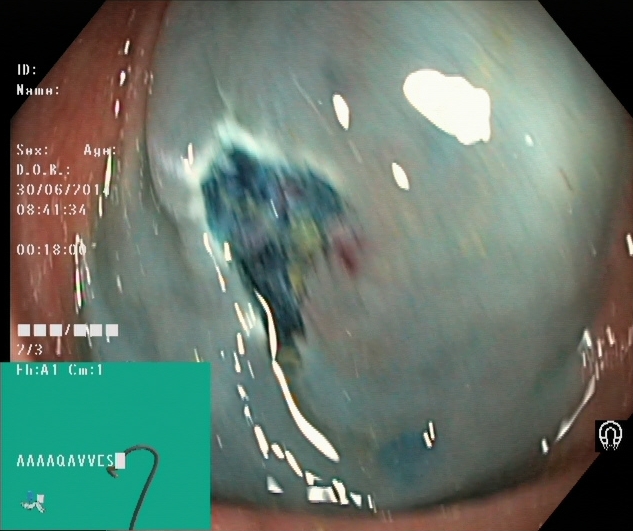{"modality": "lower gastrointestinal endoscopy", "tract": "lower GI tract", "finding": "dyed resection margins (post-polypectomy)"}